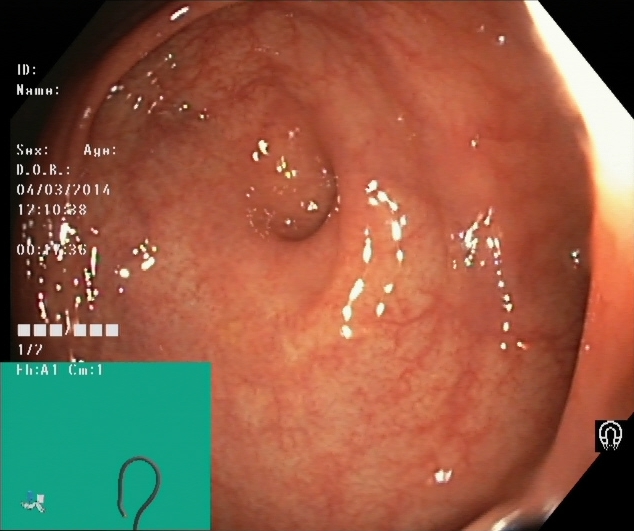Cecum.